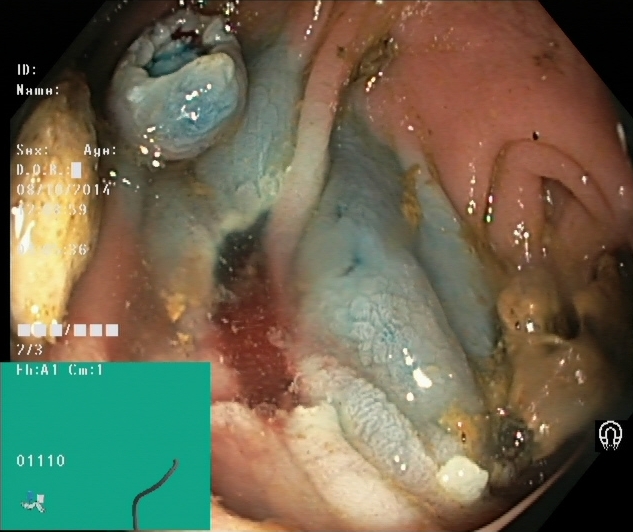Gastrointestinal endoscopy image showing dyed resection margins (post-polypectomy).